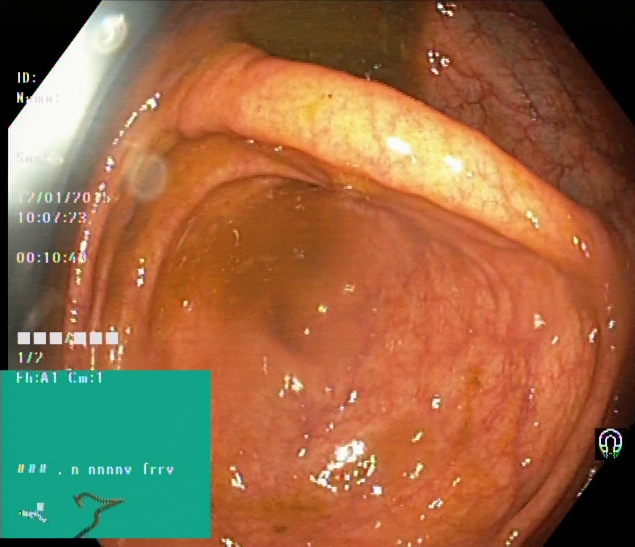Endoscopic frame showing cecum.